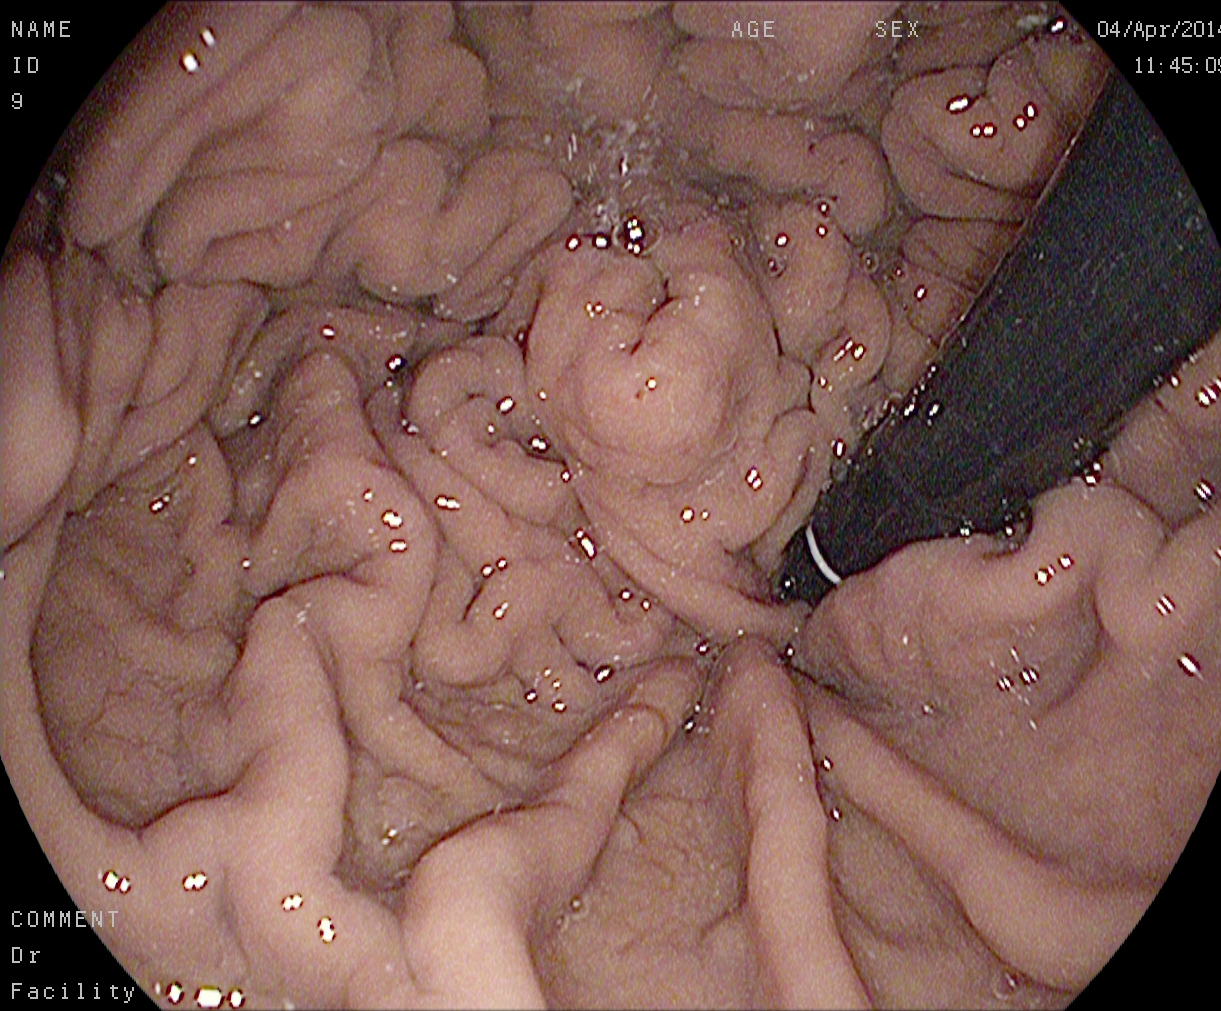Endoscopic frame of the upper GI tract showing stomach in retroflexion.